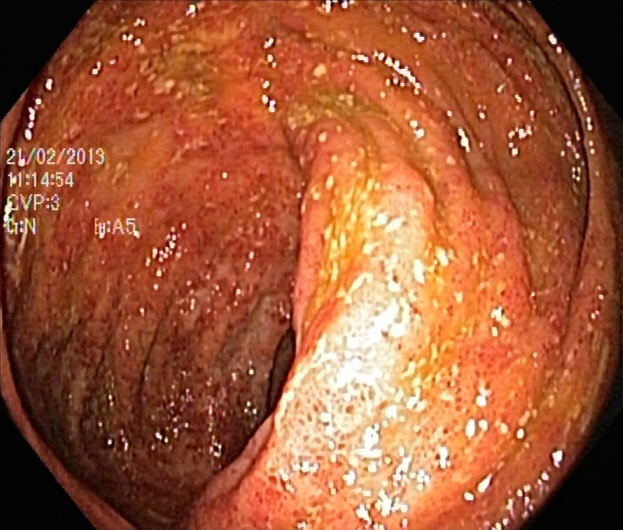PROCEDURE: Lower gastrointestinal endoscopy.
CATEGORY: Pathological finding.
FINDINGS: Ulcerative colitis, Mayo endoscopic subscore 2.